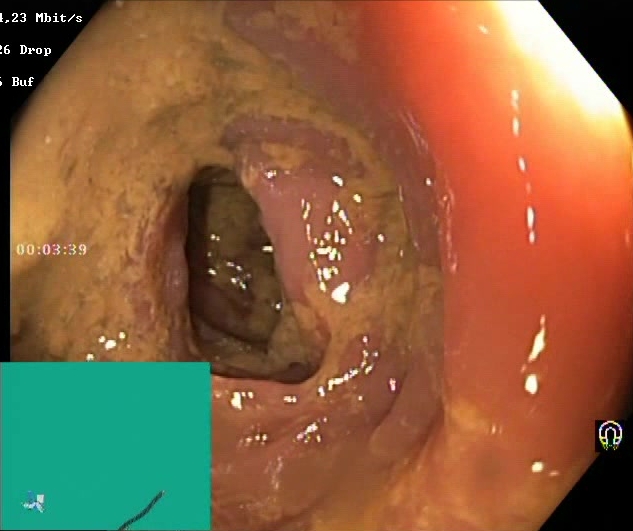Lower gastrointestinal endoscopy image of the lower GI tract showing Boston Bowel Preparation Scale score 0–1 (inadequate preparation).